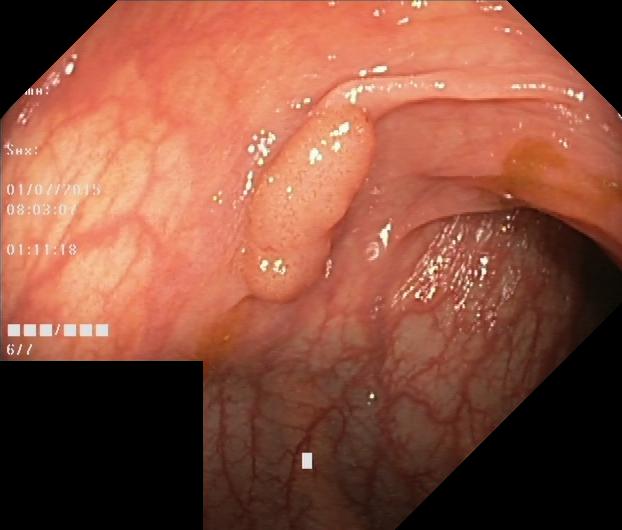Lower gastrointestinal endoscopy. Tract: lower GI tract. Finding: colorectal polyp(s).